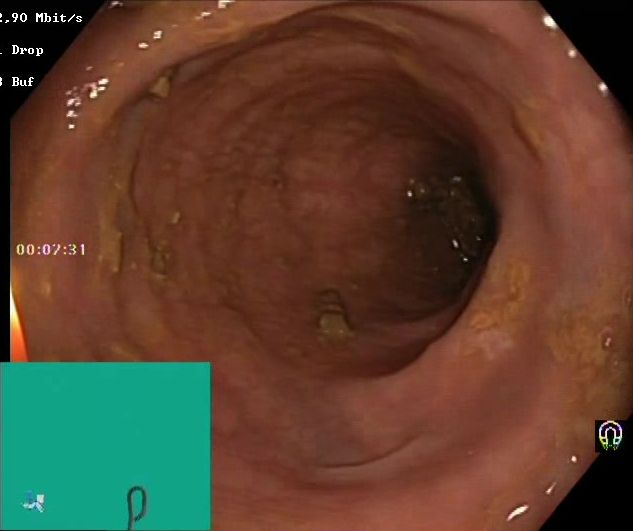Lower gastrointestinal endoscopy. Finding: Boston Bowel Preparation Scale score 2–3 (adequate preparation).